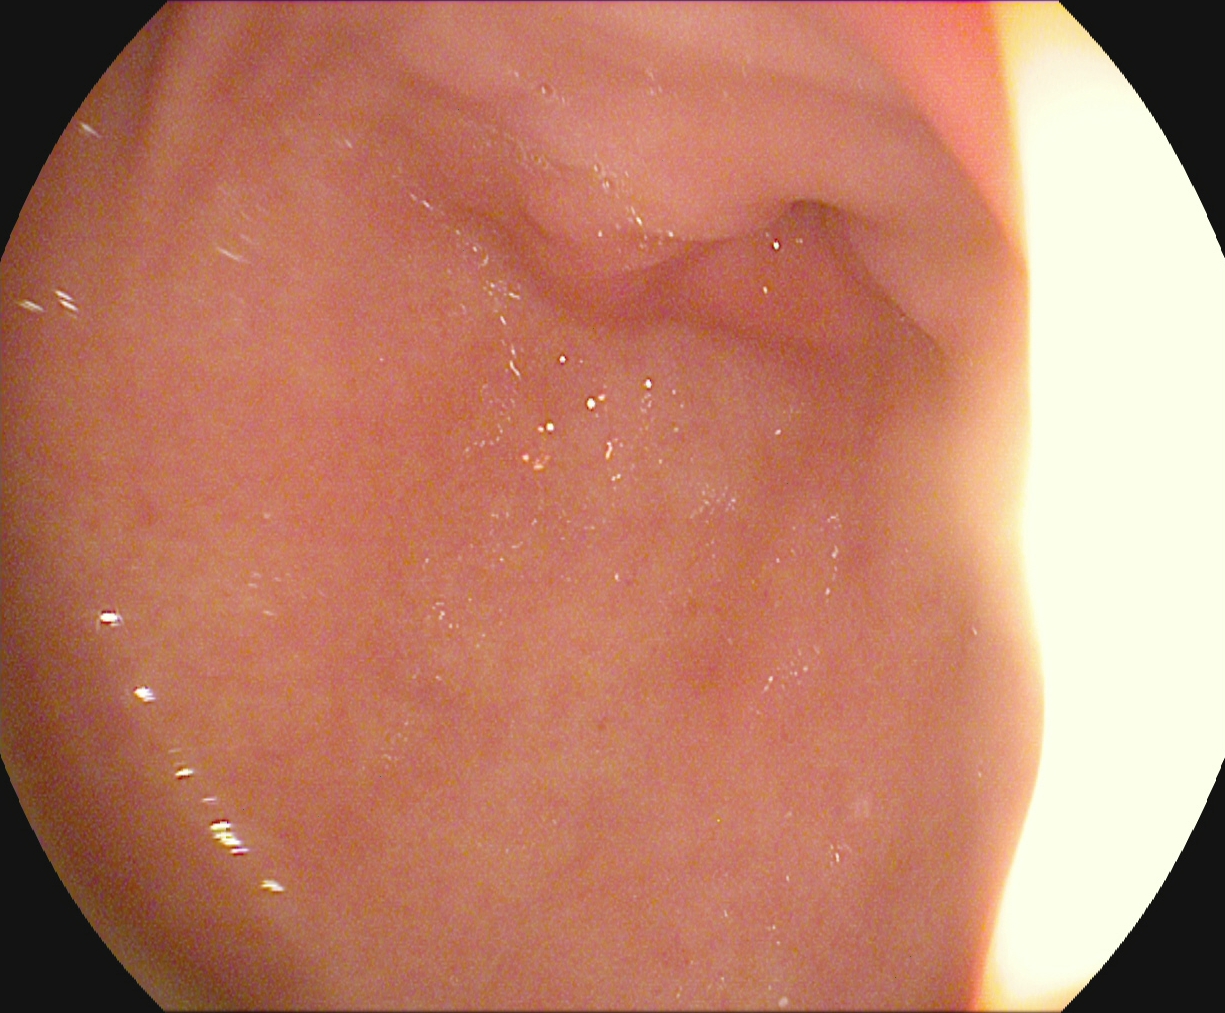modality: upper-GI endoscopy
tract: upper GI tract
finding: pylorus